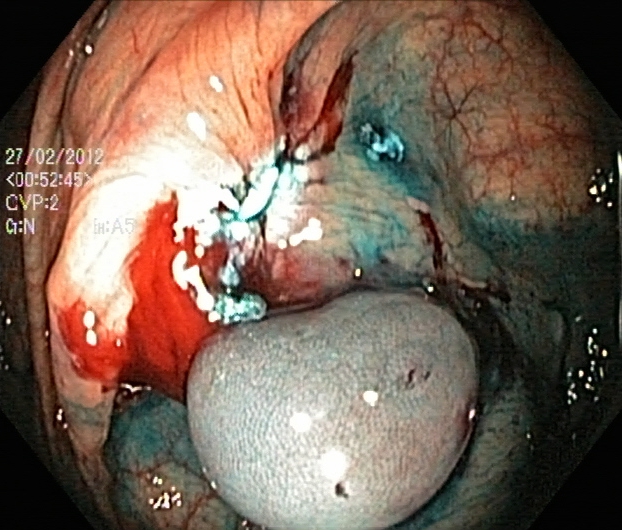Endoscopy image showing dyed resection margins (post-polypectomy).